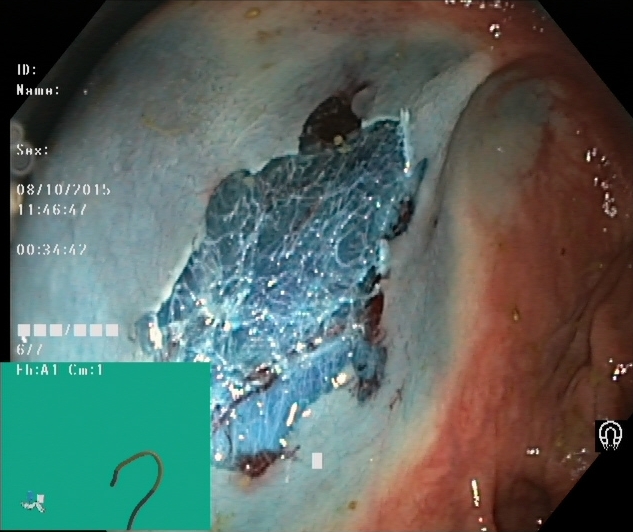{"modality": "colonoscopy", "category": "therapeutic intervention", "finding": "dyed resection margins (post-polypectomy)"}